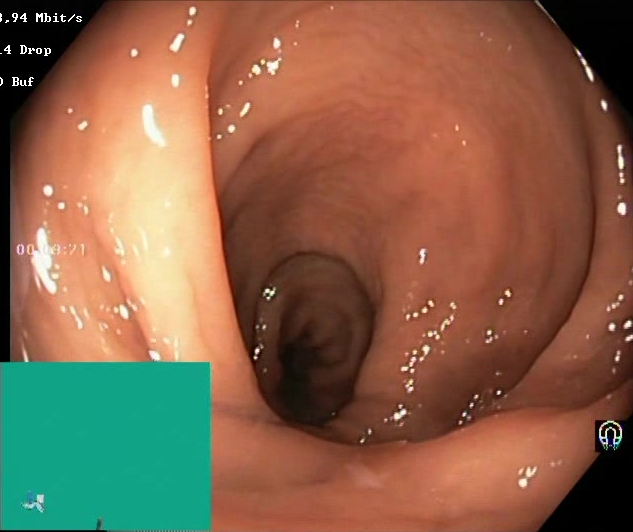modality: lower-GI endoscopy
tract: lower GI tract
category: mucosal-view quality
finding: BBPS score 2–3 (adequate preparation)